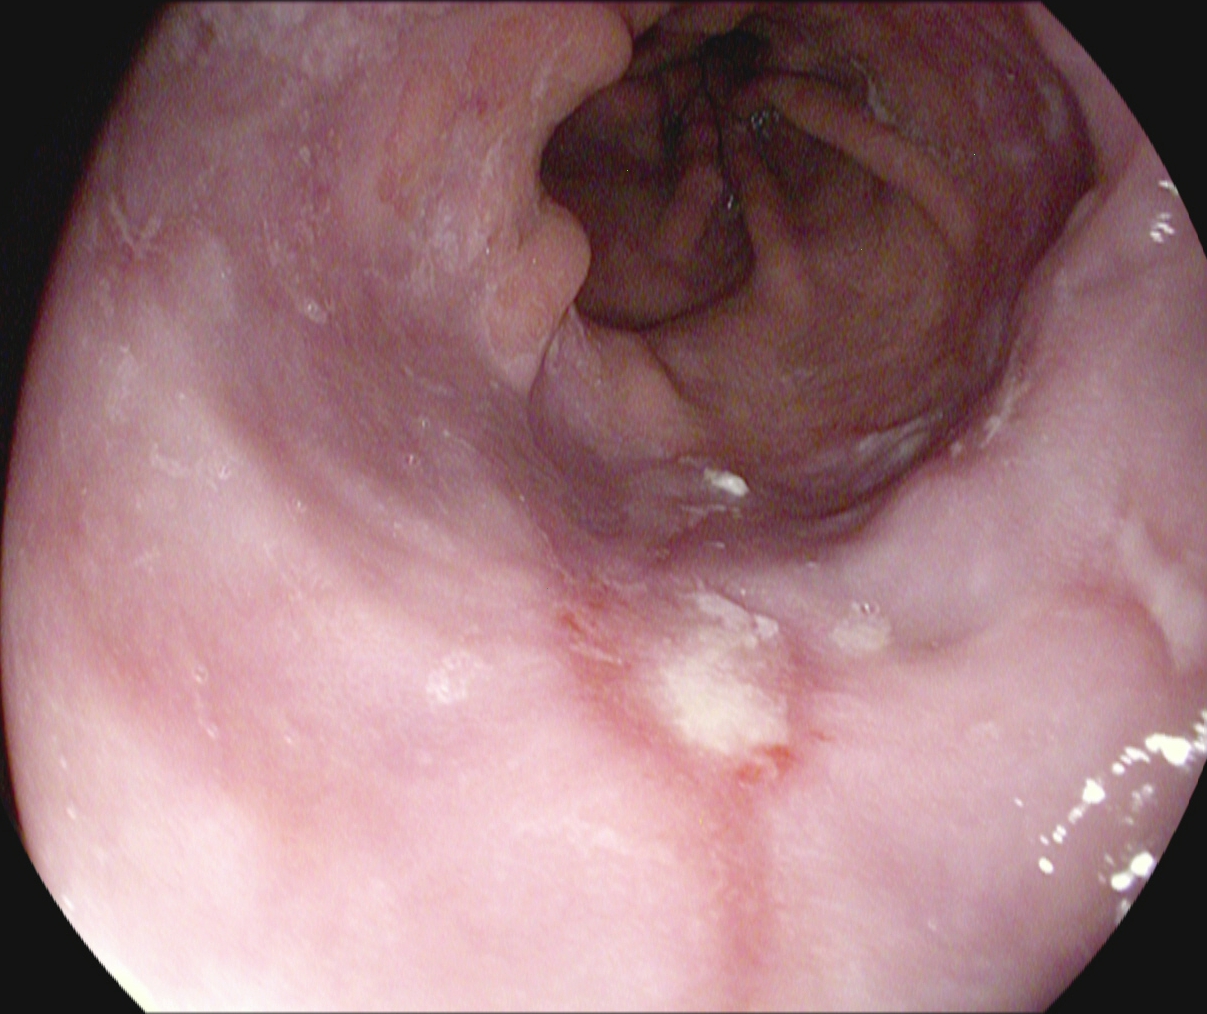modality: gastroscopy
tract: upper GI tract
category: pathological finding
finding: reflux esophagitis, Los Angeles grade B–D